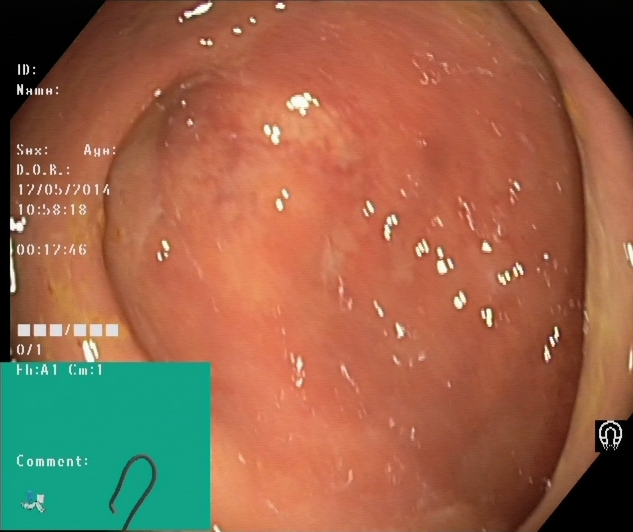Colonoscopy — cecum.